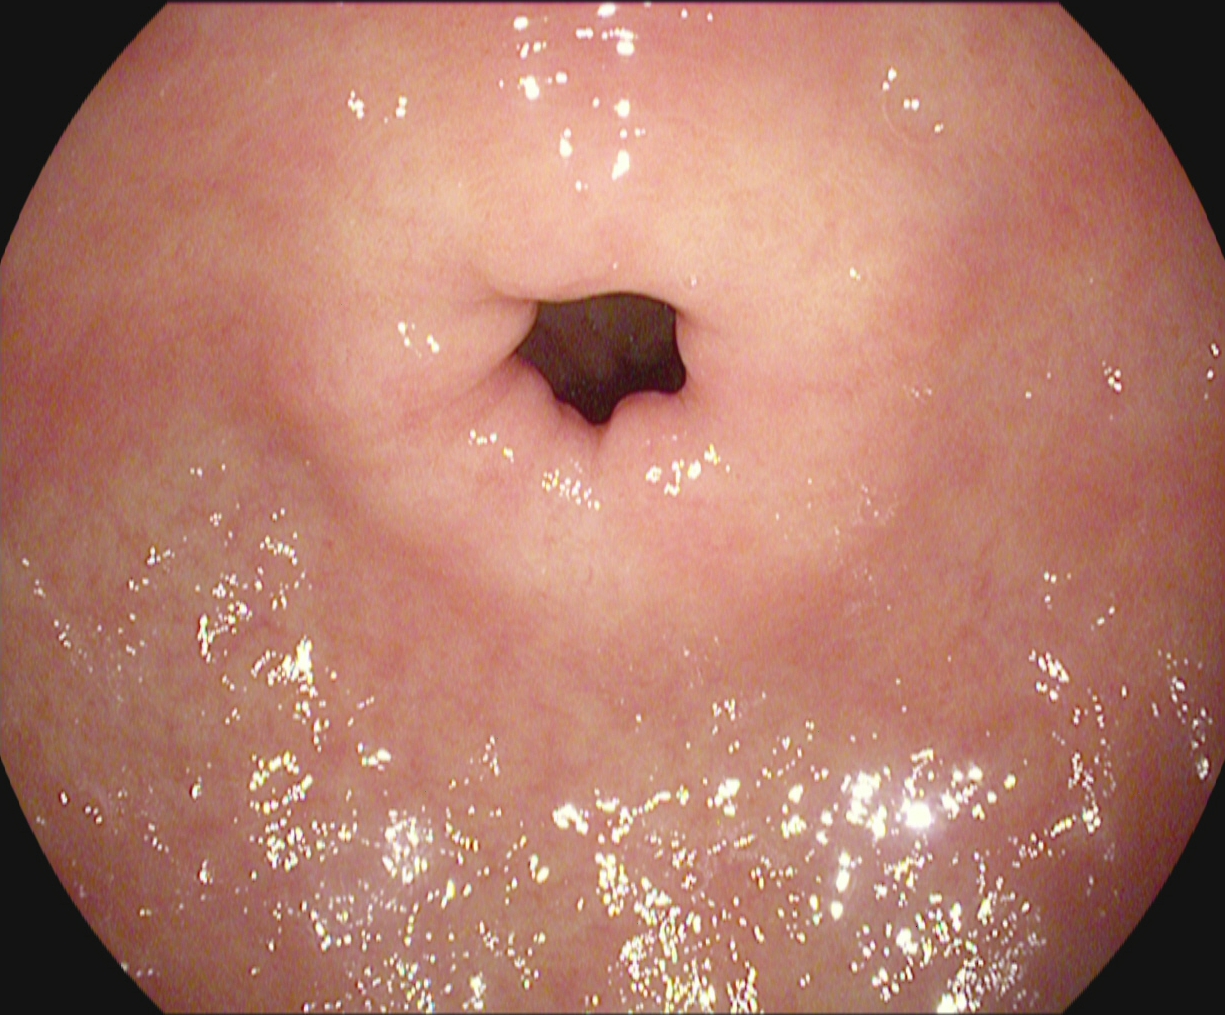This endoscopic image of the upper GI tract shows pylorus.